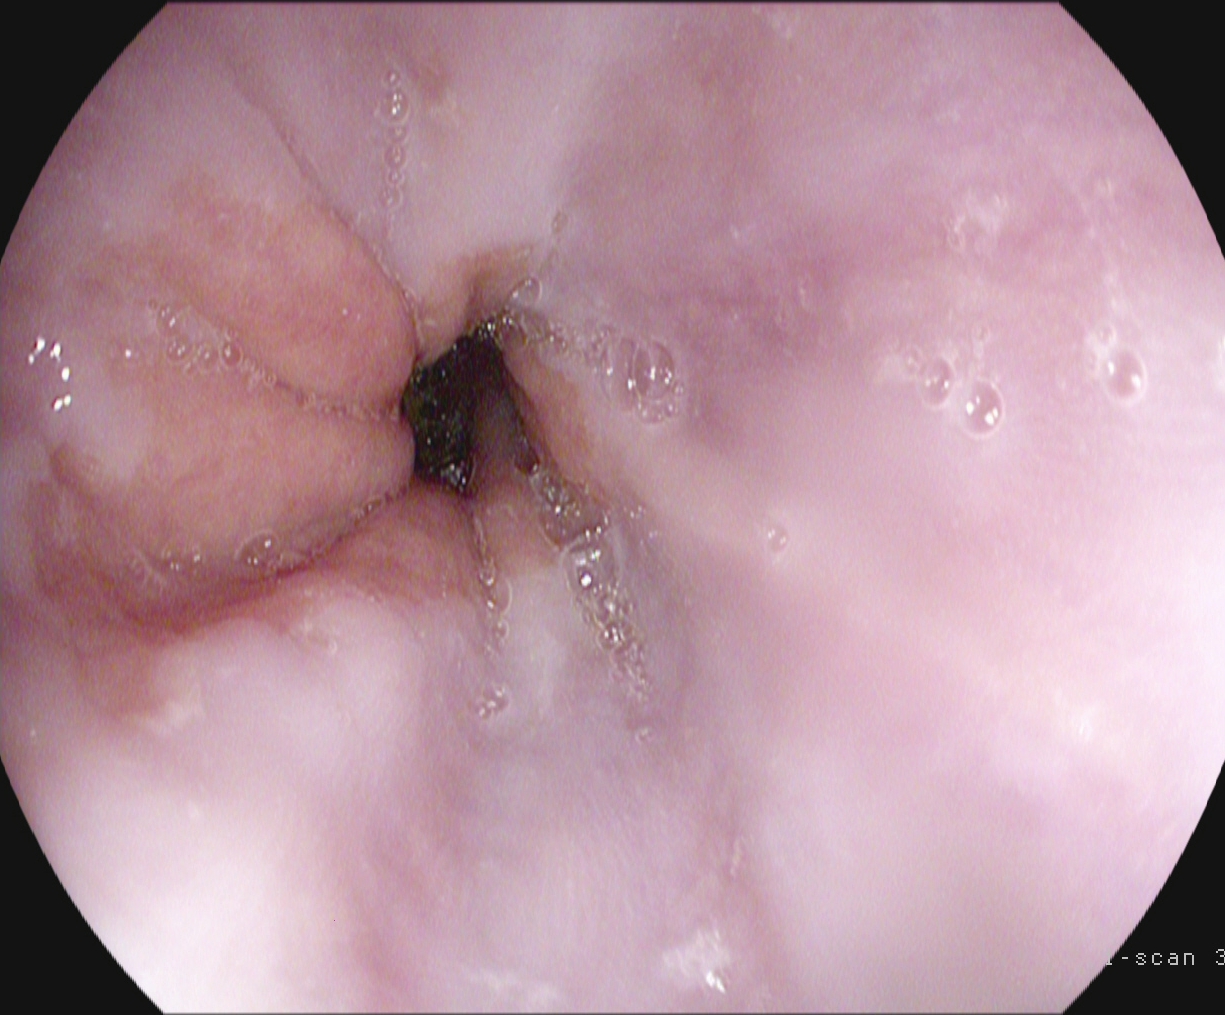Upper-GI endoscopy. Tract: upper GI tract. Finding: Z-line (gastroesophageal junction).